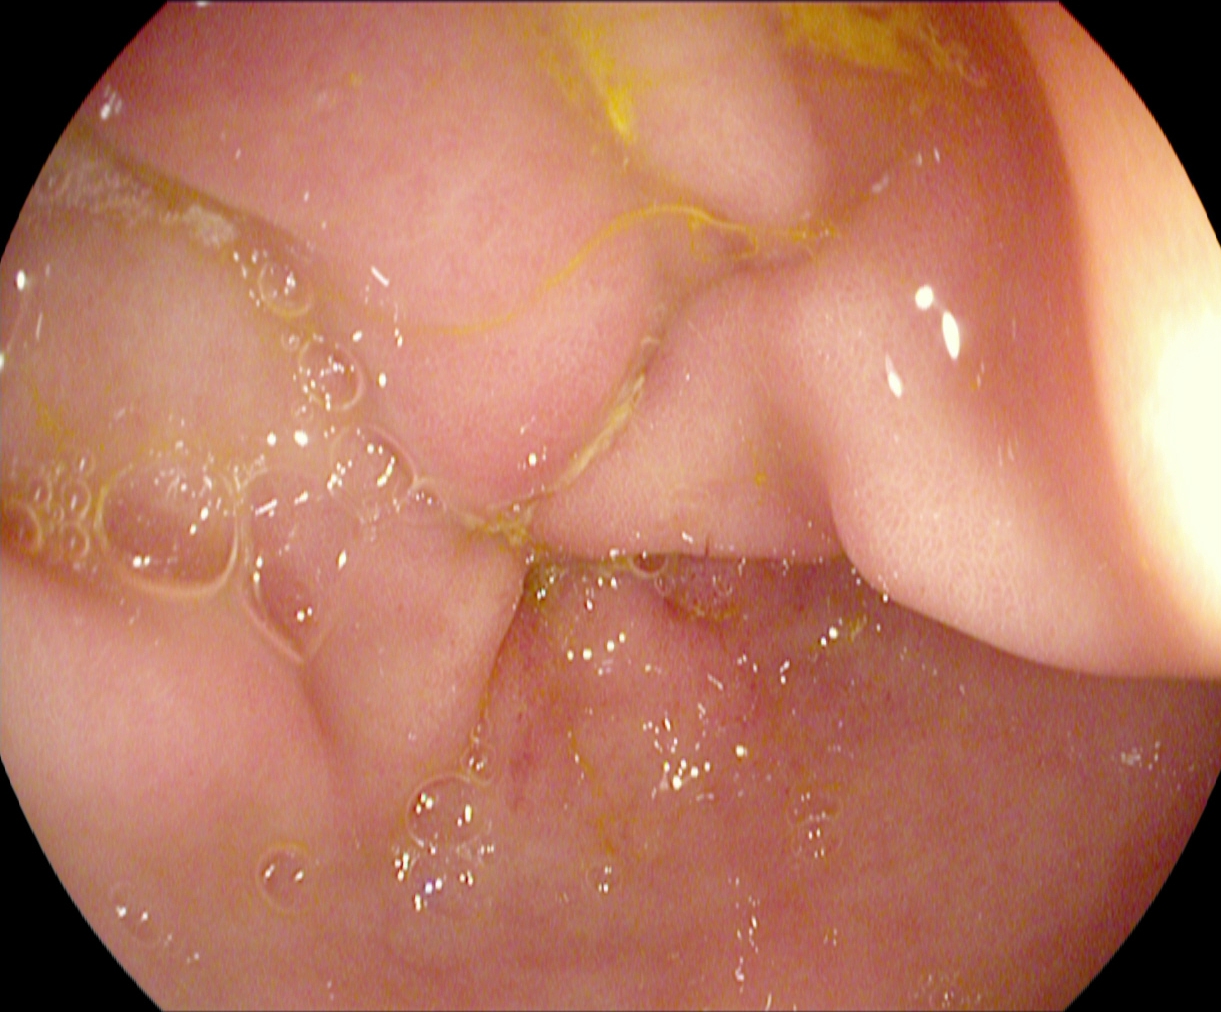This endoscopic image of the upper GI tract shows pylorus.